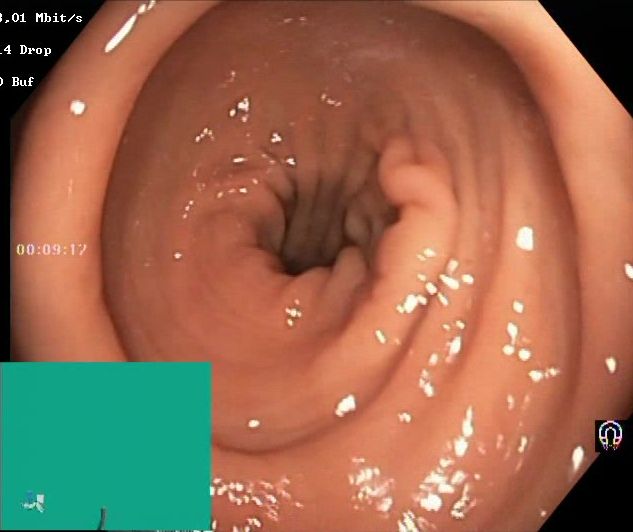Colonoscopy. Mucosal-view quality. Finding: Boston Bowel Preparation Scale score 2–3 (adequate preparation).